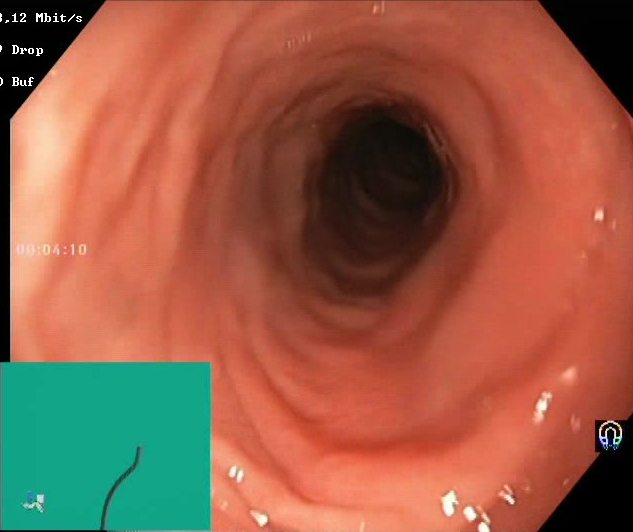This endoscopy frame of the lower GI tract shows Boston Bowel Preparation Scale score 2–3 (adequate preparation).